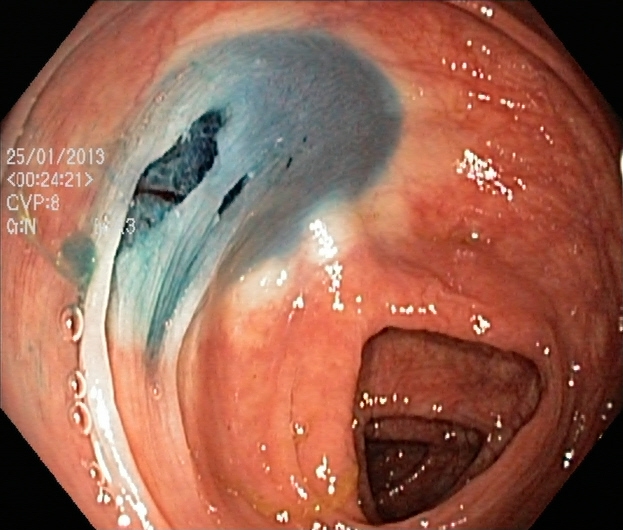Lower gastrointestinal endoscopy. Finding: dyed resection margins (post-polypectomy).